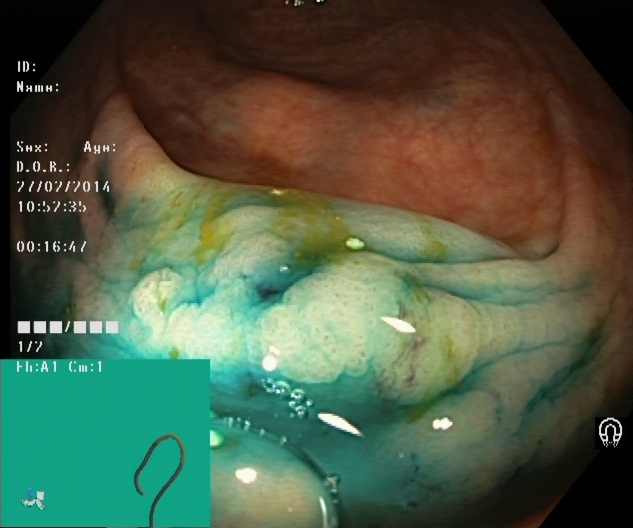This endoscopic image shows dyed and lifted polyp (pre-resection).